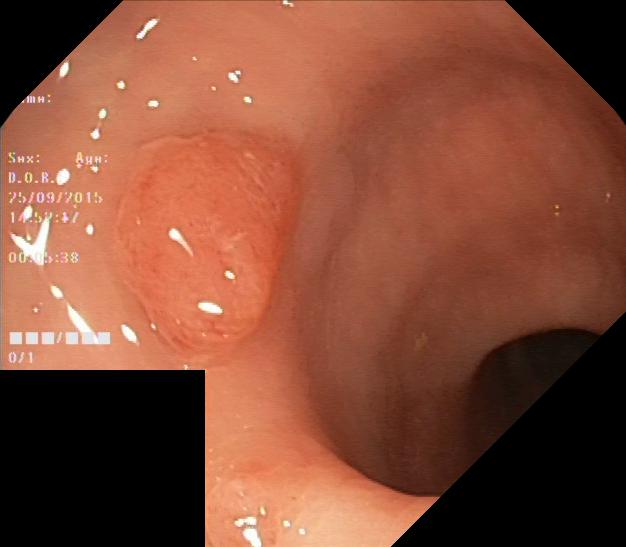This endoscopic image shows colorectal polyp(s).